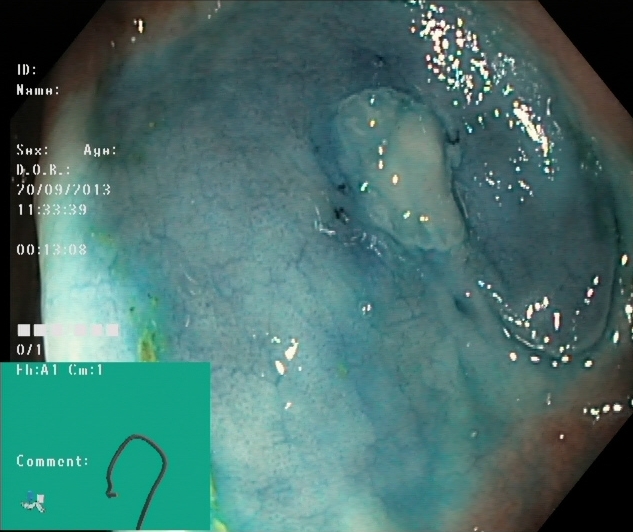Colonoscopy. Tract: lower GI tract. Therapeutic intervention. Finding: dyed and lifted polyp (pre-resection).